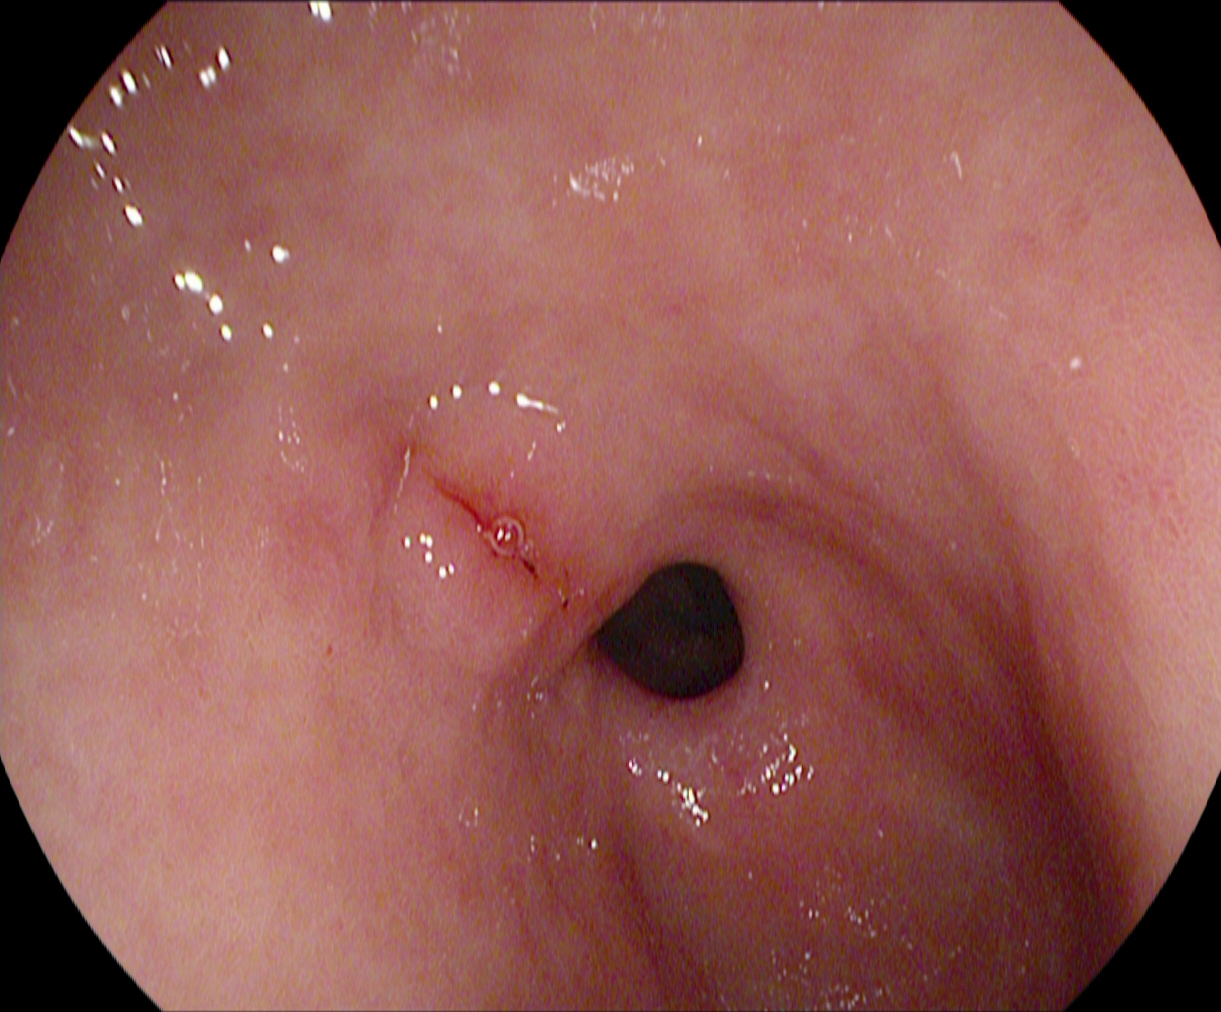Endoscopic image of the upper GI tract showing pylorus.